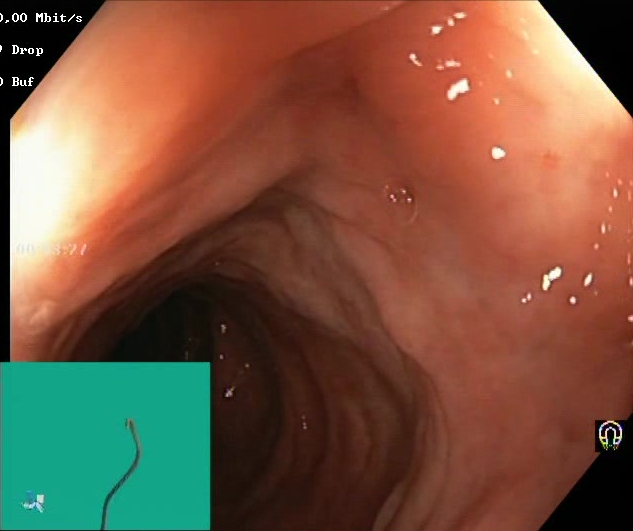PROCEDURE: Colonoscopy.
FINDINGS: Boston Bowel Preparation Scale score 2–3 (adequate preparation).